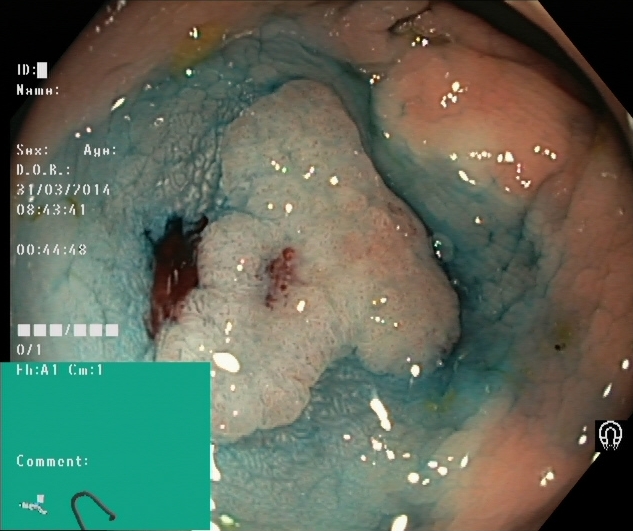modality: lower-GI endoscopy
finding: dyed and lifted polyp (pre-resection)